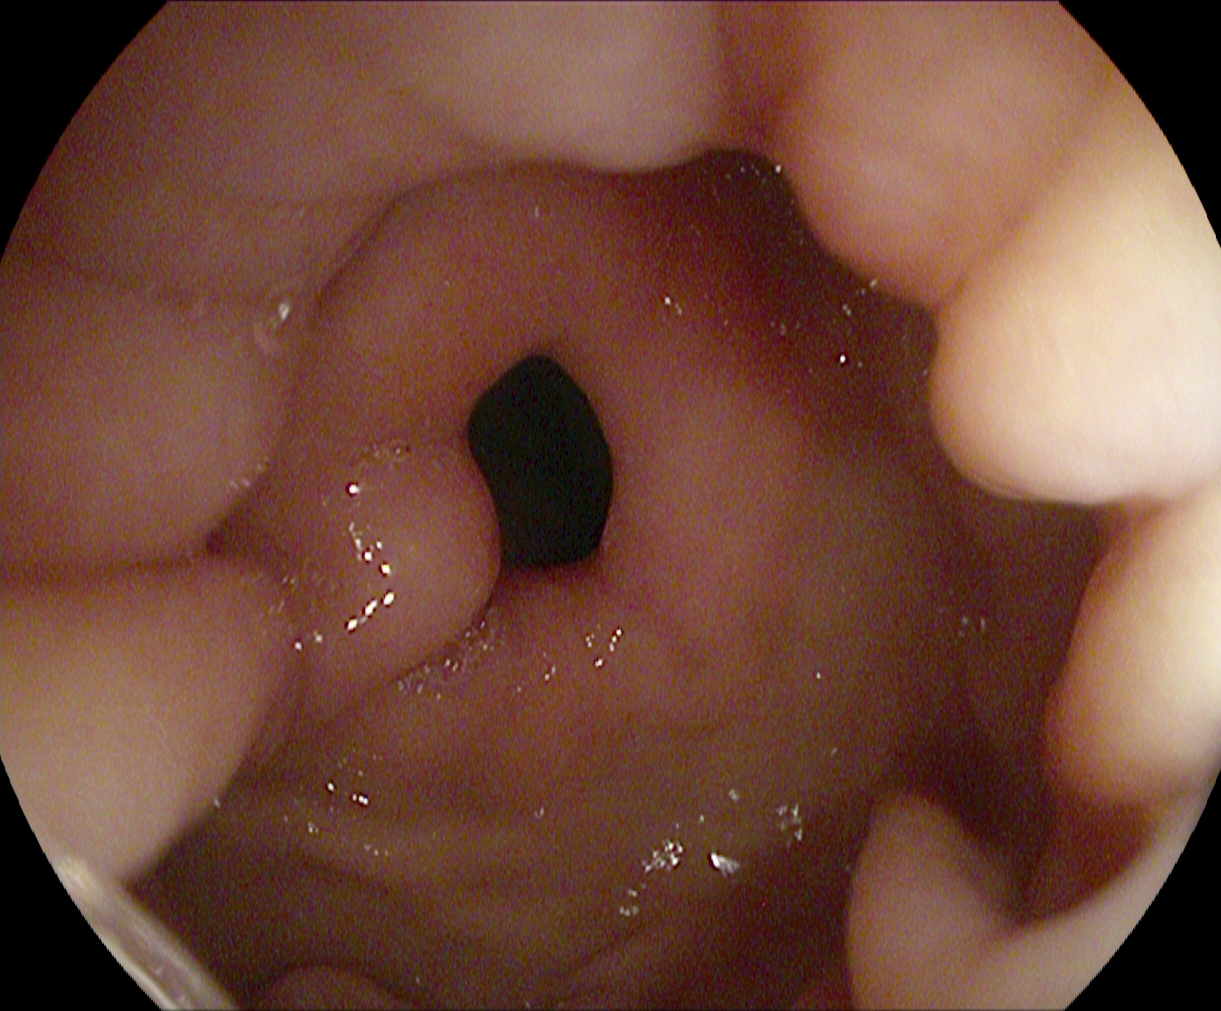modality: gastroscopy; category: anatomical landmark; finding: pylorus